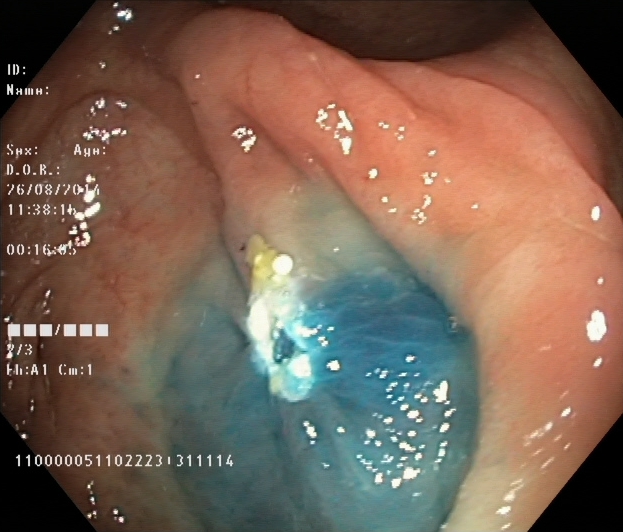{"modality": "lower-GI endoscopy", "tract": "lower GI tract", "category": "therapeutic intervention", "finding": "dyed resection margins (post-polypectomy)"}